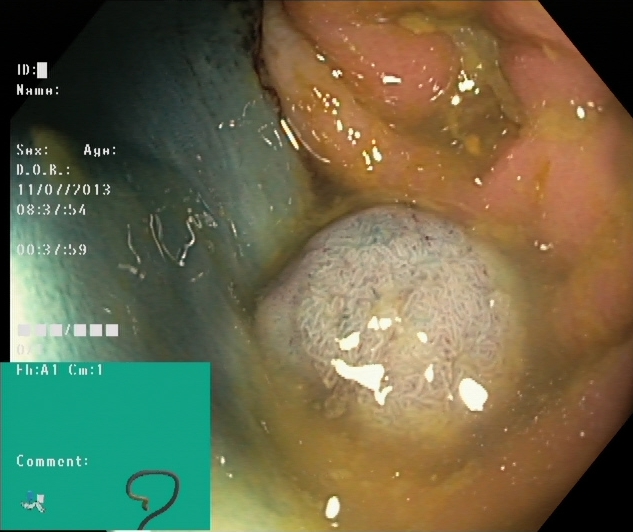{"modality": "colonoscopy", "category": "therapeutic intervention", "finding": "dyed and lifted polyp (pre-resection)"}